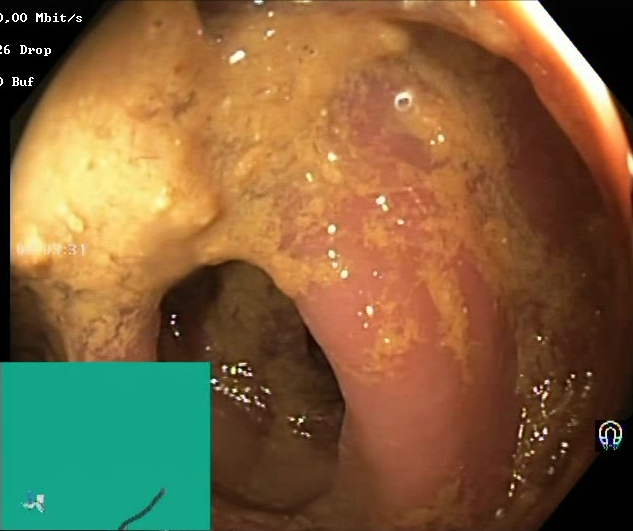{"modality": "lower gastrointestinal endoscopy", "category": "mucosal-view quality", "finding": "Boston Bowel Preparation Scale score 0\u20131 (inadequate preparation)"}